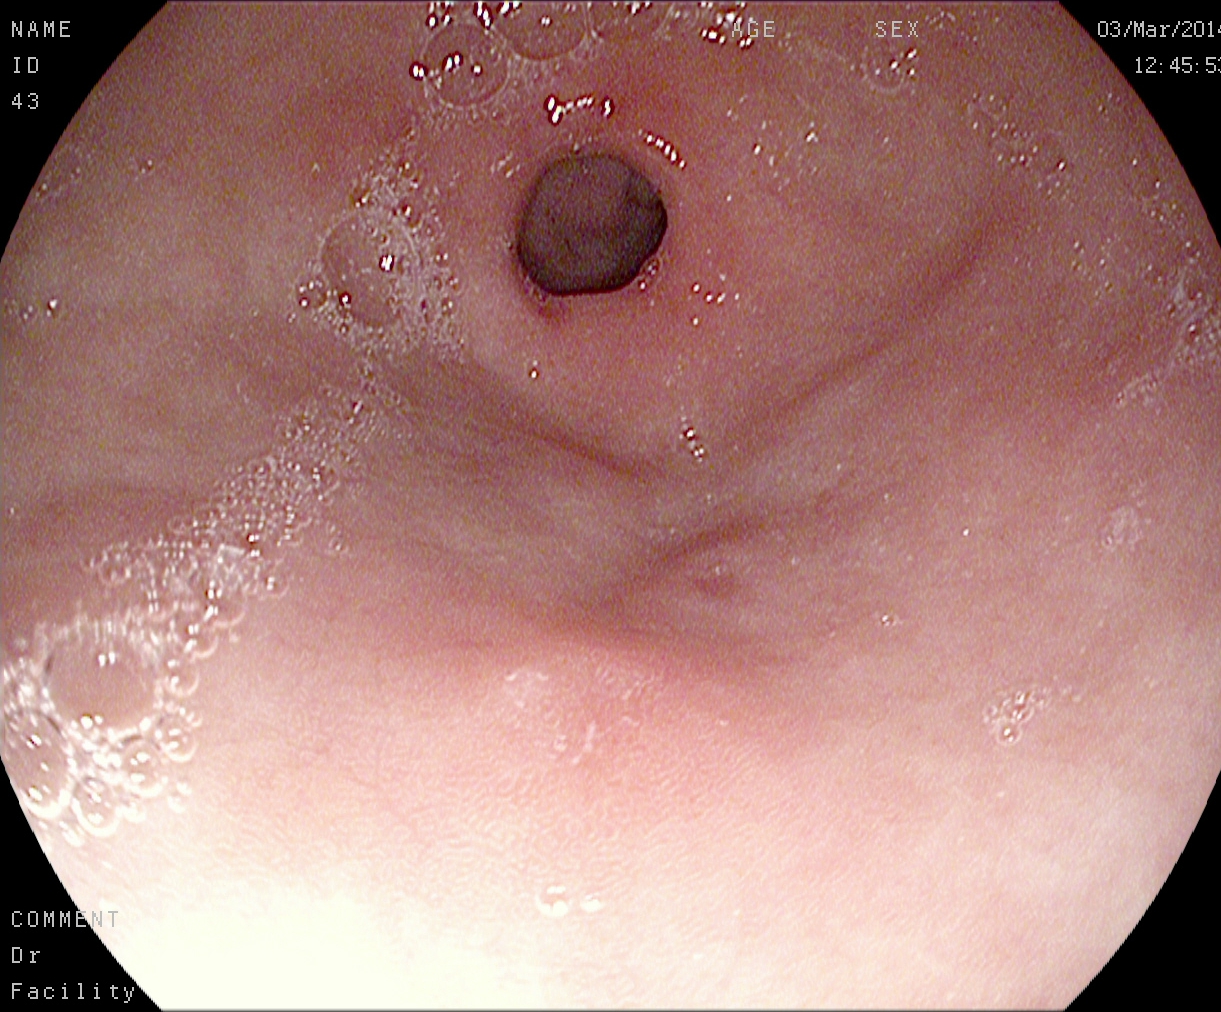This endoscopic image of the upper GI tract shows pylorus.